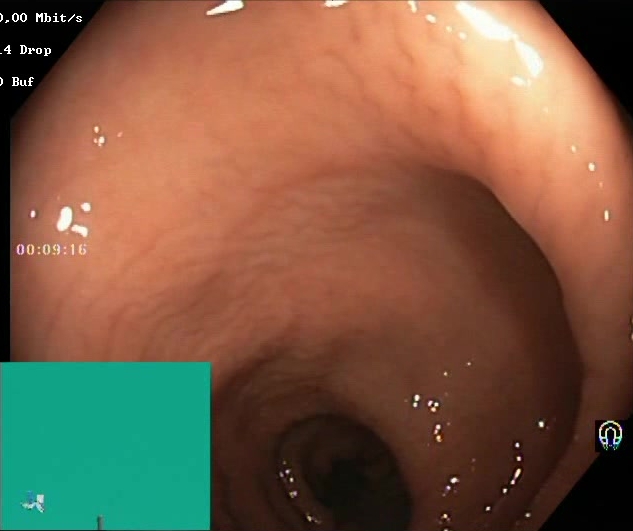Colonoscopy. Tract: lower GI tract. Finding: BBPS score 2–3 (adequate preparation).